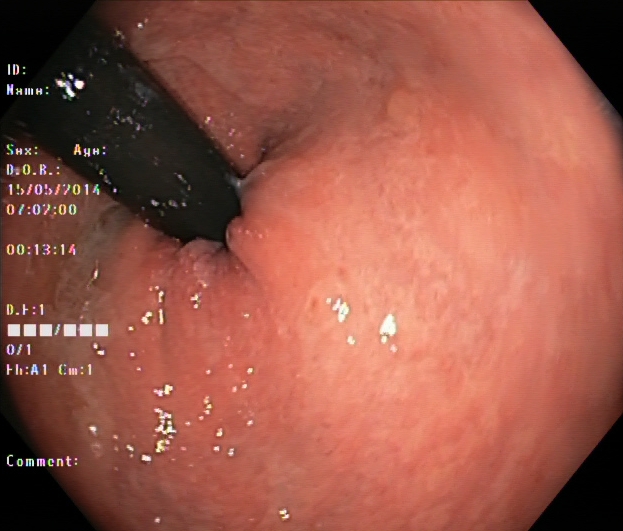modality: lower gastrointestinal endoscopy; tract: lower GI tract; category: anatomical landmark; finding: rectum in retroflexion